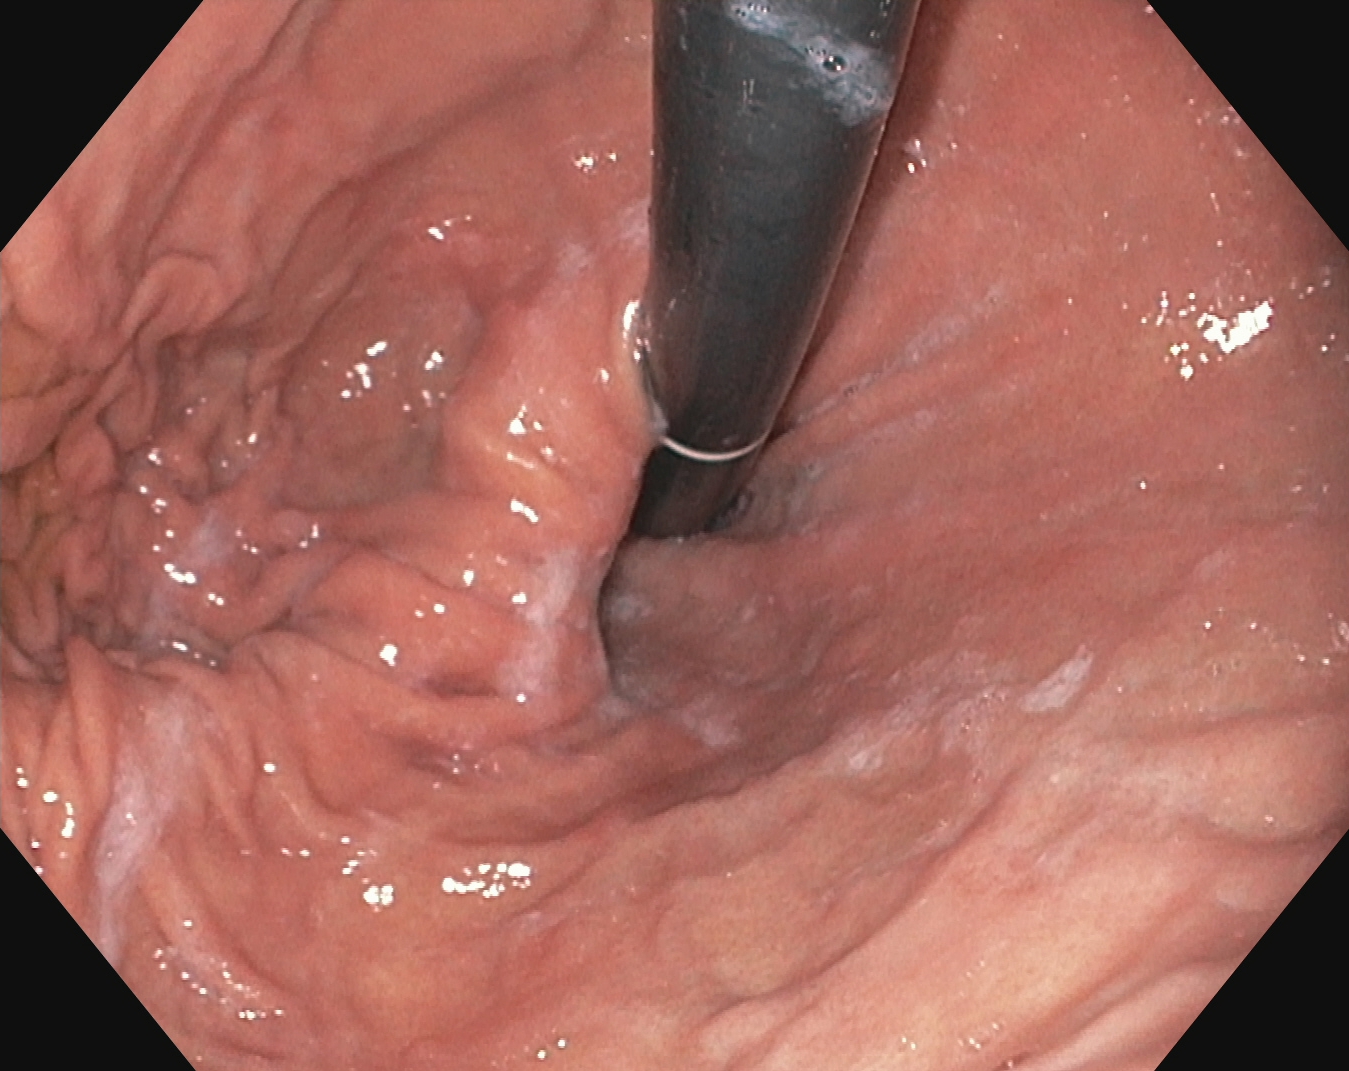{"modality": "esophagogastroduodenoscopy", "finding": "stomach in retroflexion"}